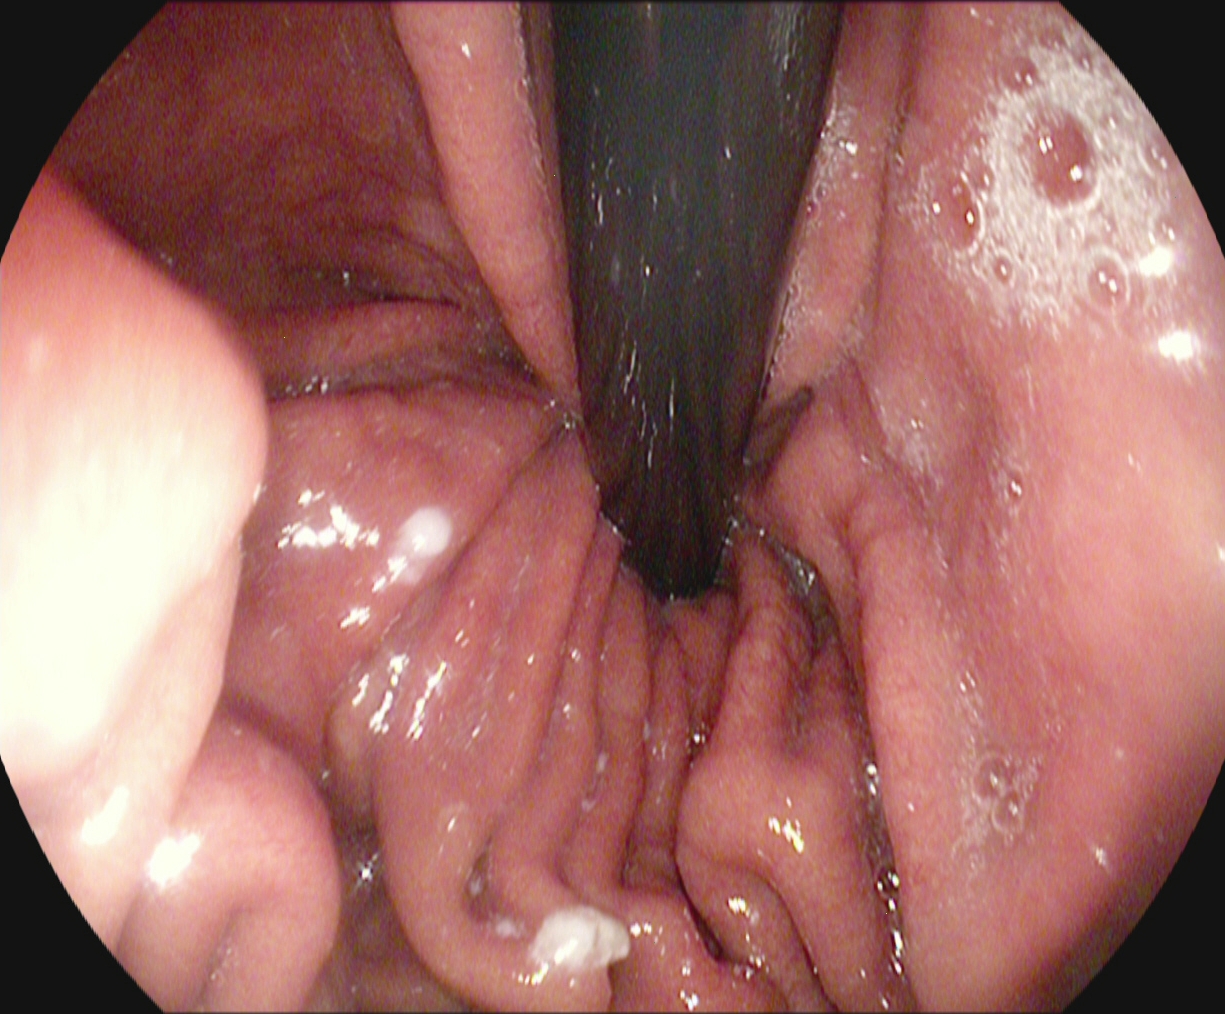stomach in retroflexion.